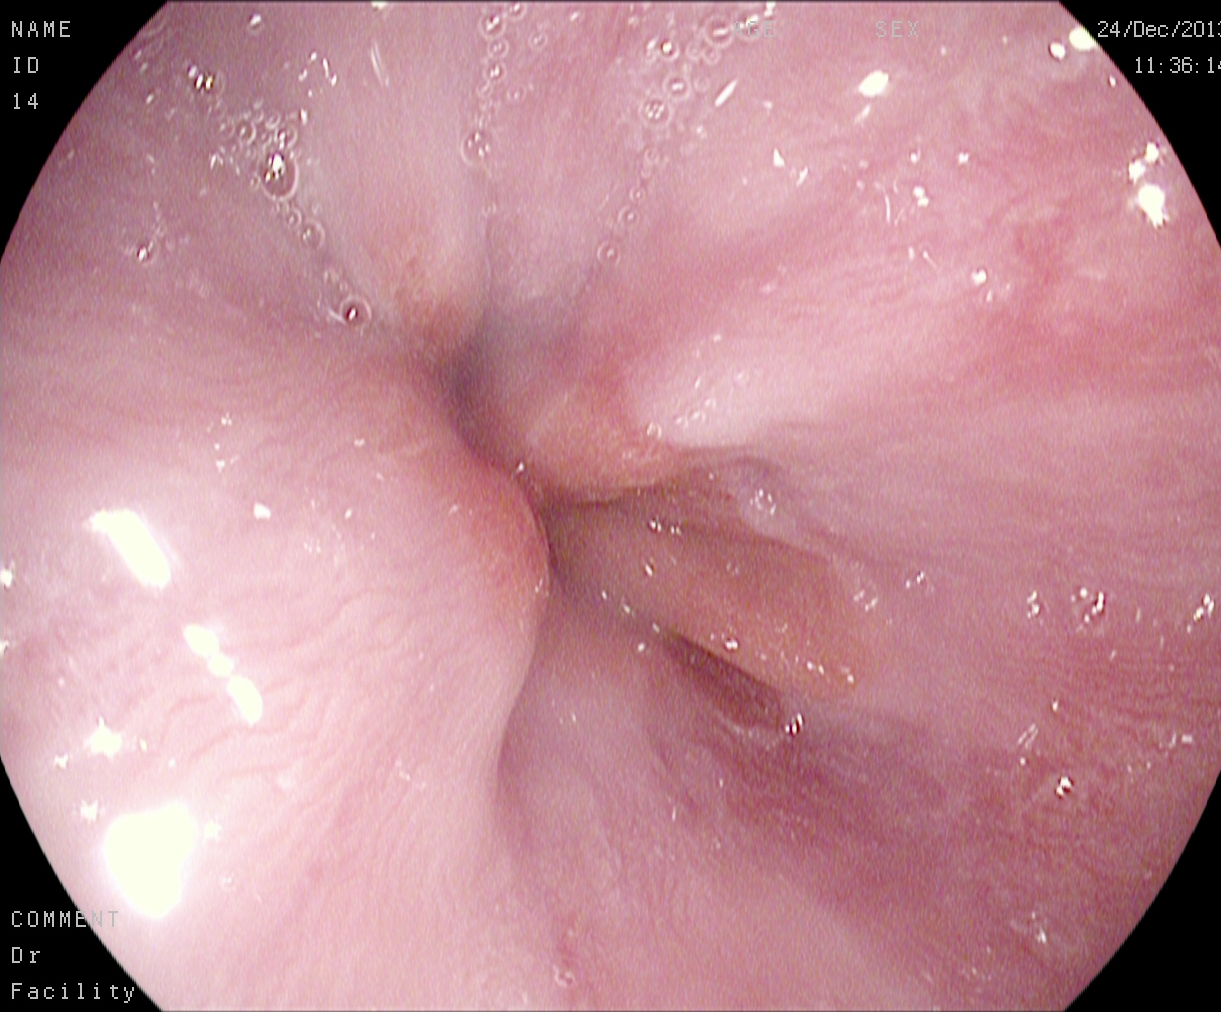This endoscopy frame shows Z-line (gastroesophageal junction).